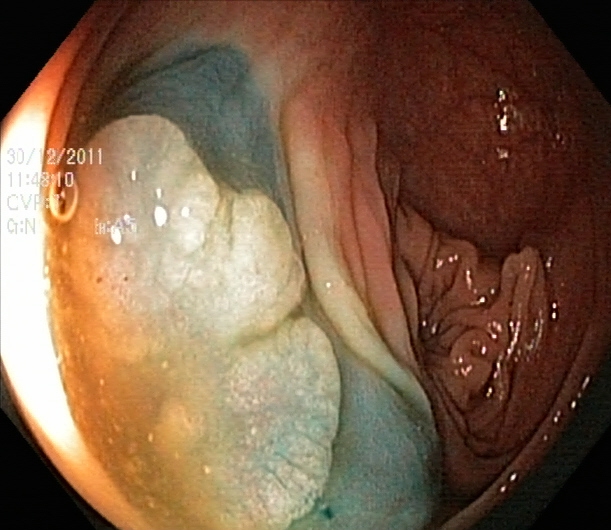This endoscopic image of the lower GI tract shows dyed and lifted polyp (pre-resection).